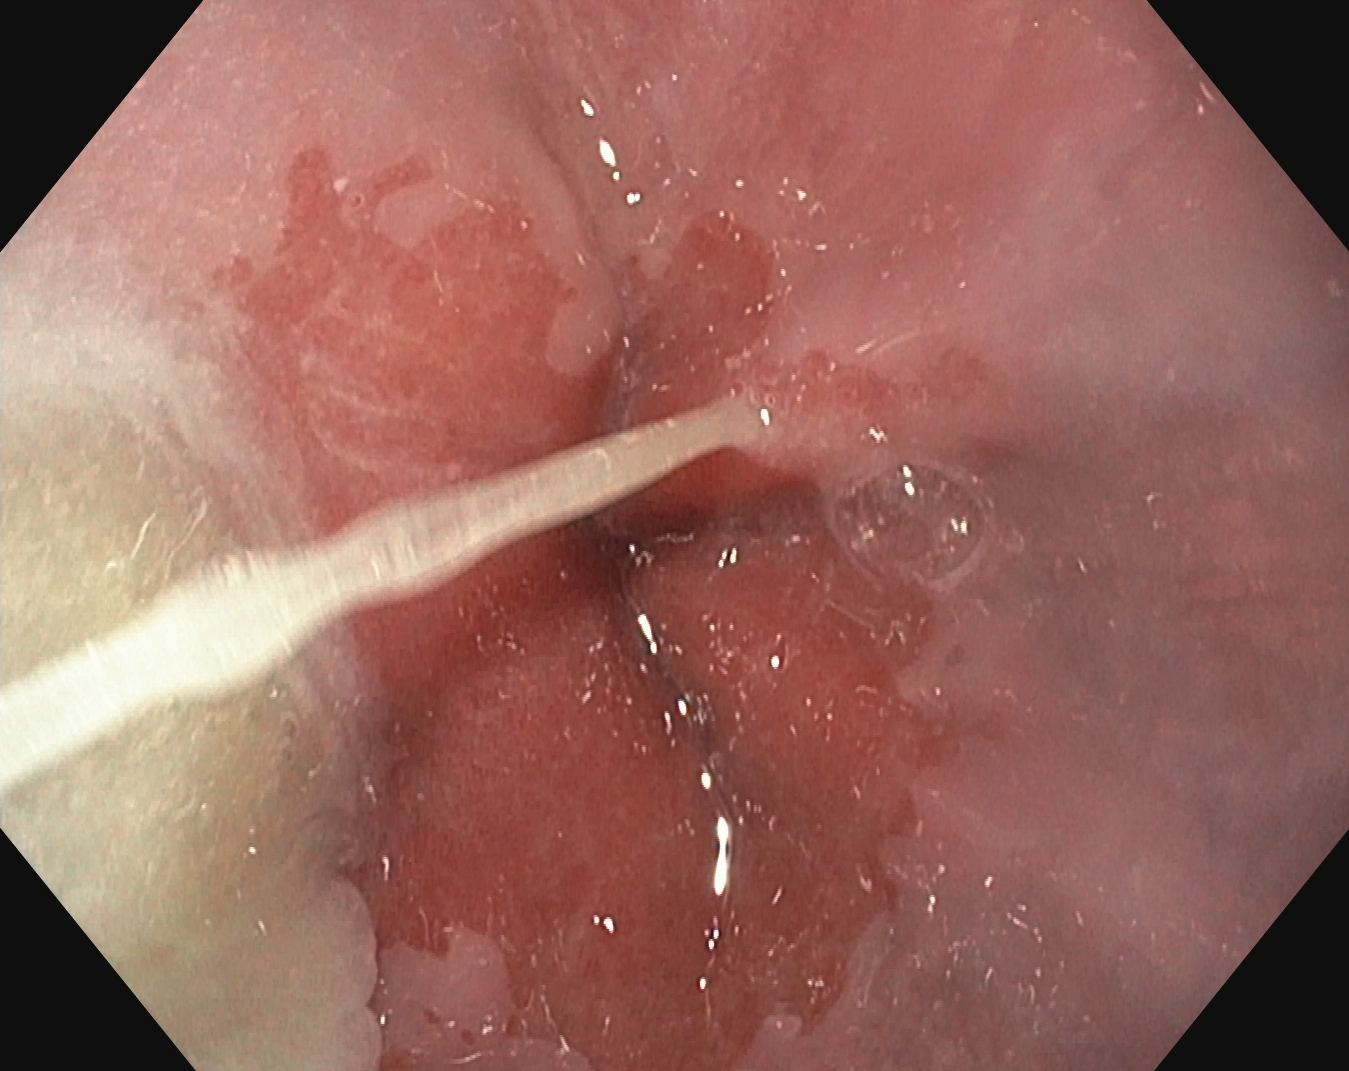{"modality": "upper-GI endoscopy", "tract": "upper GI tract", "finding": "Z-line (gastroesophageal junction)"}